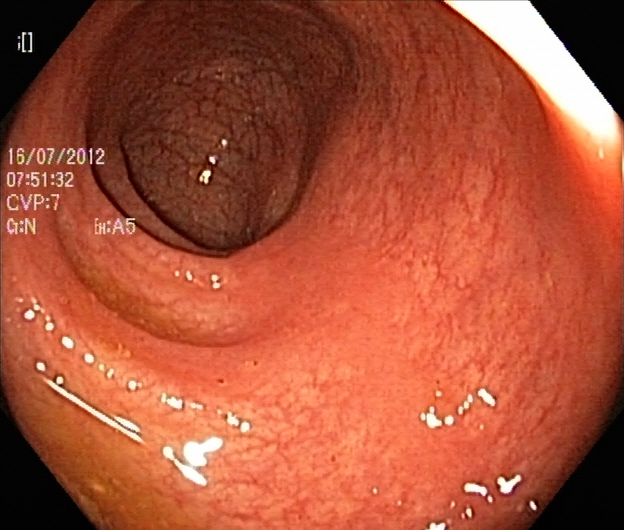modality: lower gastrointestinal endoscopy; finding: ulcerative colitis, Mayo endoscopic subscore 1